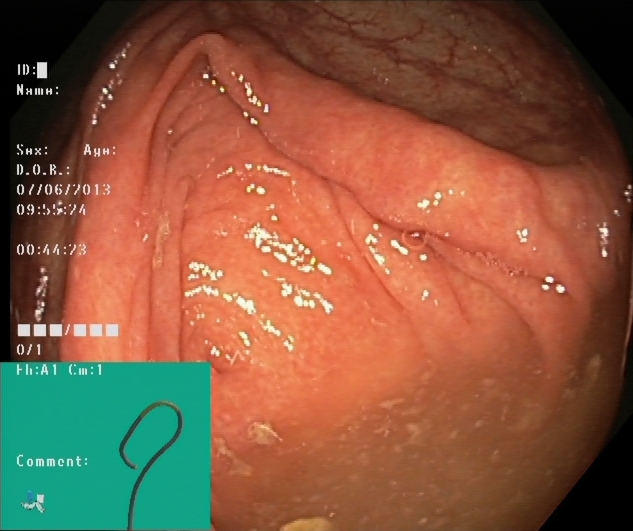Lower-GI endoscopy. Tract: lower GI tract. Anatomical landmark. Finding: cecum.